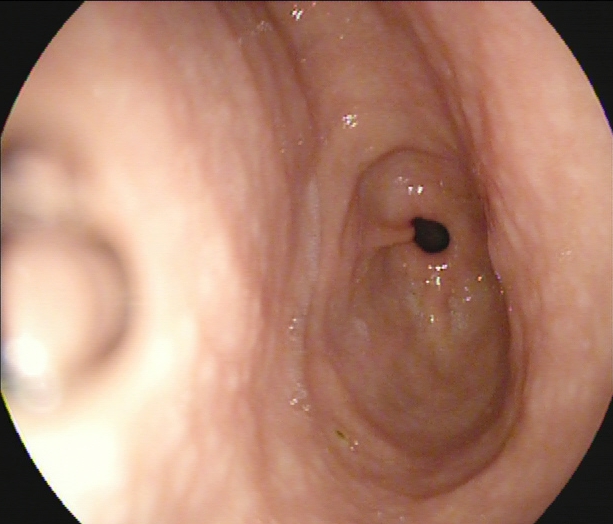PROCEDURE: Esophagogastroduodenoscopy.
FINDINGS: Pylorus.